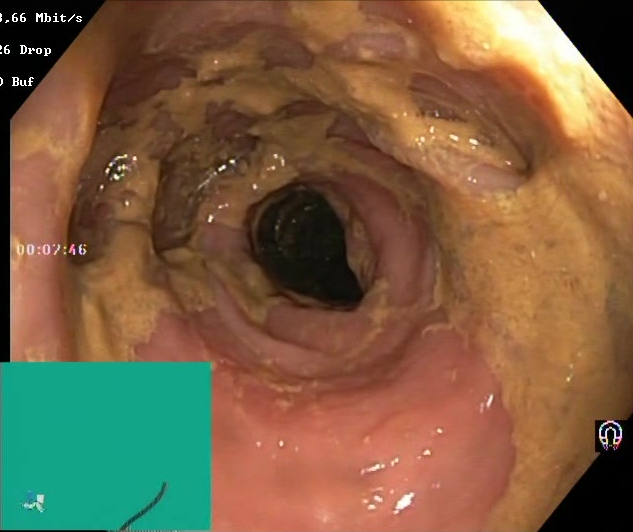modality: lower gastrointestinal endoscopy
finding: Boston Bowel Preparation Scale score 0–1 (inadequate preparation)